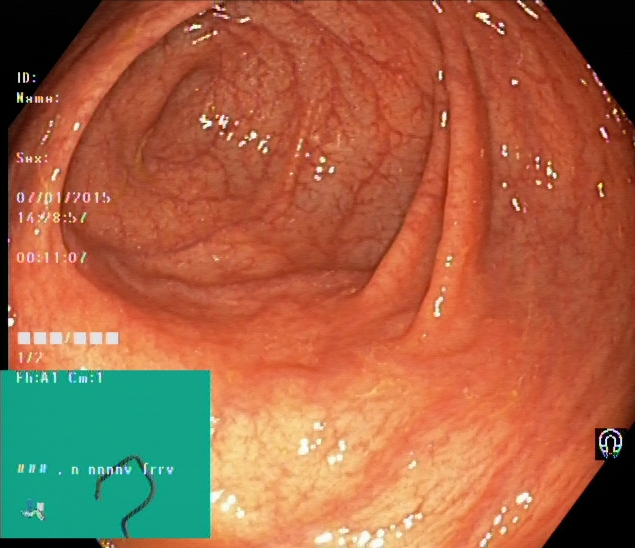Endoscopic frame of the lower GI tract showing cecum.